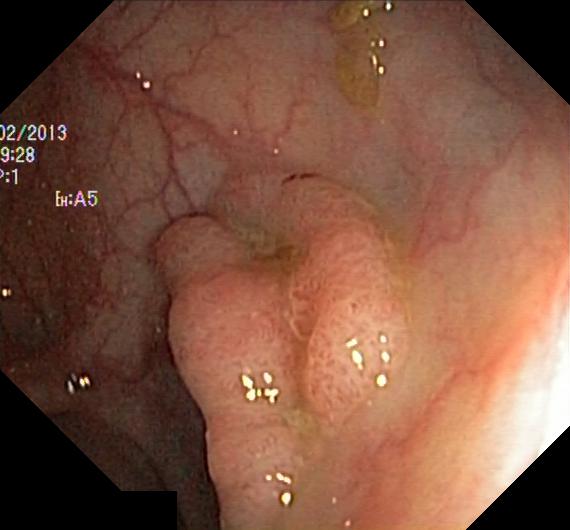Endoscopic image showing colorectal polyp(s).